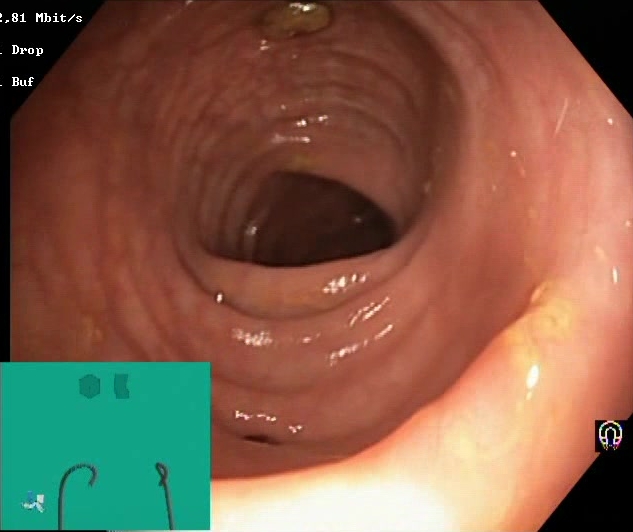modality: colonoscopy | tract: lower GI tract | finding: BBPS score 2–3 (adequate preparation)